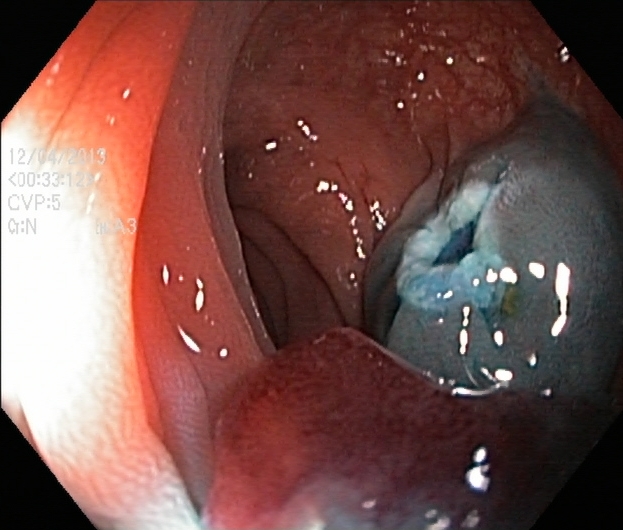modality: lower-GI endoscopy; tract: lower GI tract; category: therapeutic intervention; finding: dyed resection margins (post-polypectomy)